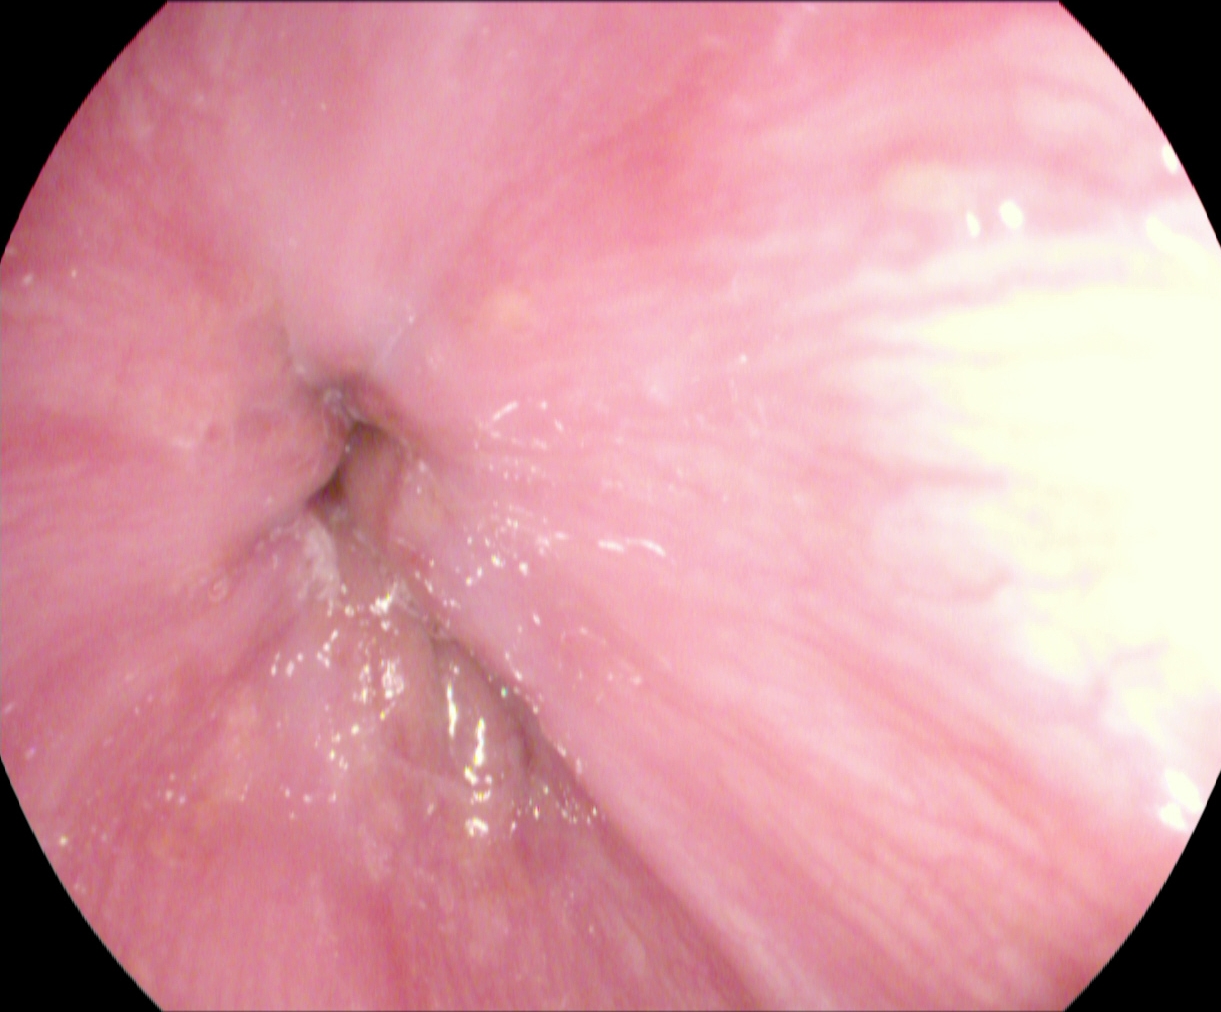Z-line (gastroesophageal junction).